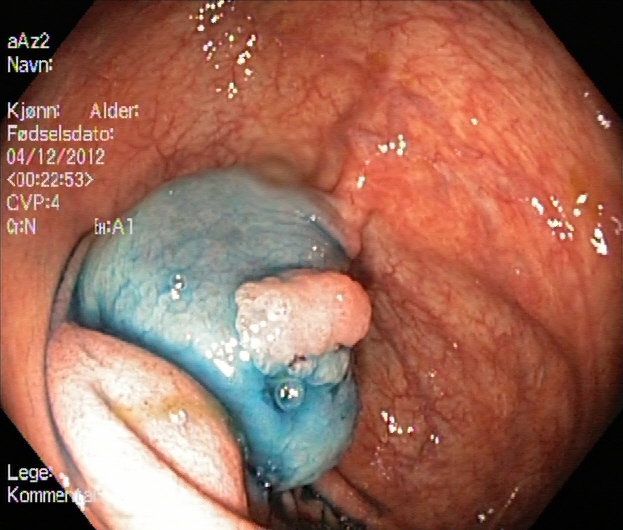Lower gastrointestinal endoscopy — dyed and lifted polyp (pre-resection).